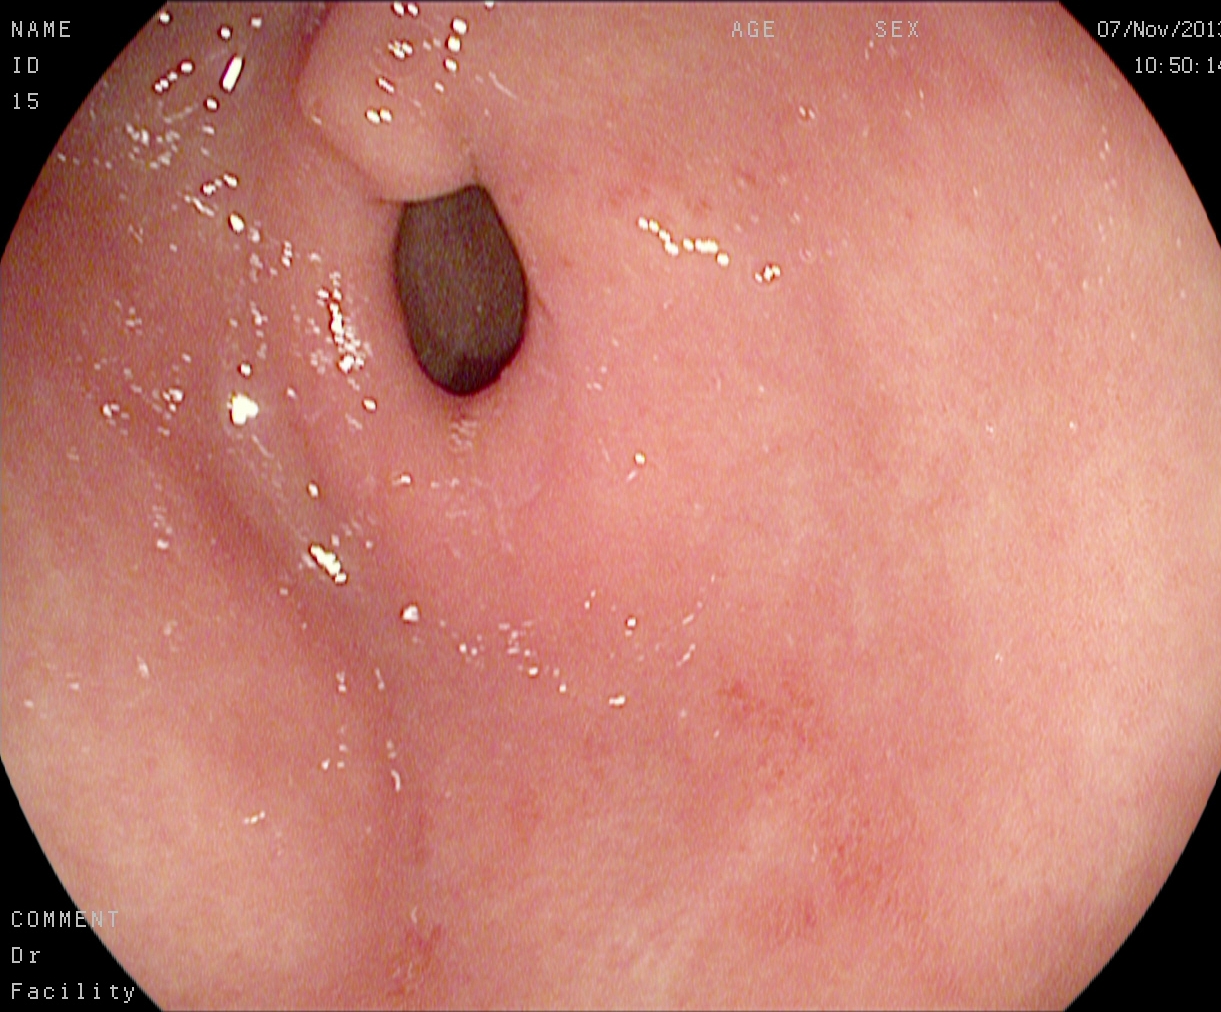EGD. Tract: upper GI tract. Finding: pylorus.